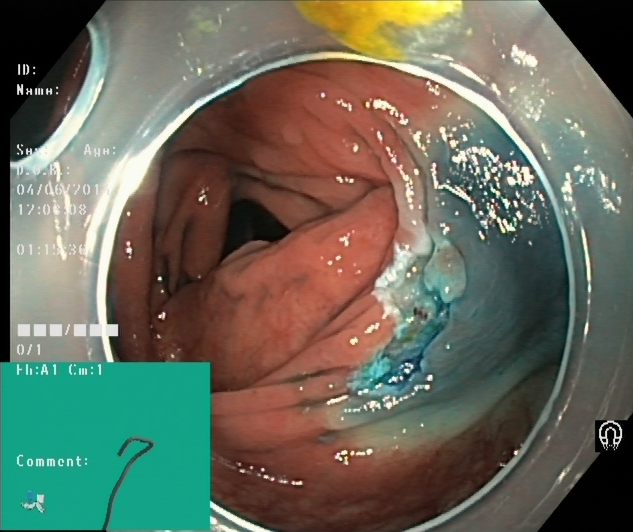Lower gastrointestinal endoscopy. Tract: lower GI tract. Finding: dyed resection margins (post-polypectomy).